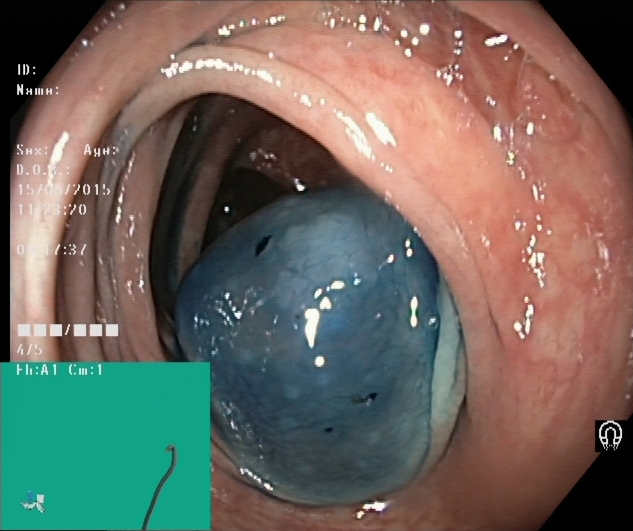modality: lower-GI endoscopy; category: therapeutic intervention; finding: dyed and lifted polyp (pre-resection)